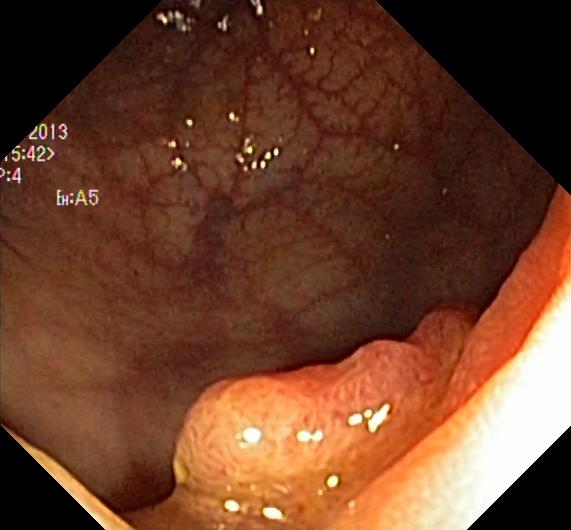Gastrointestinal endoscopy image of the lower GI tract showing colorectal polyp(s).